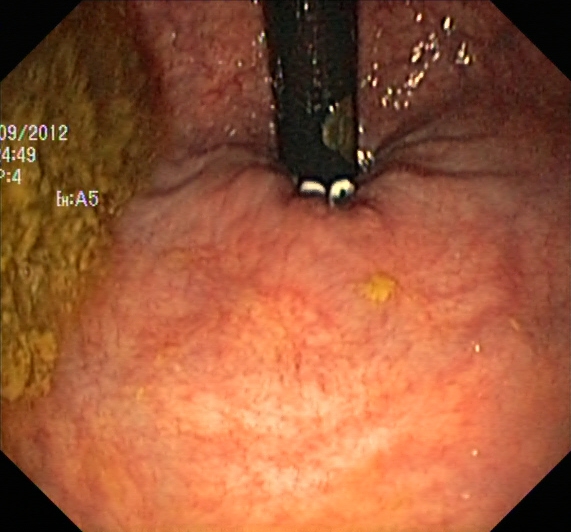Rectum in retroflexion.